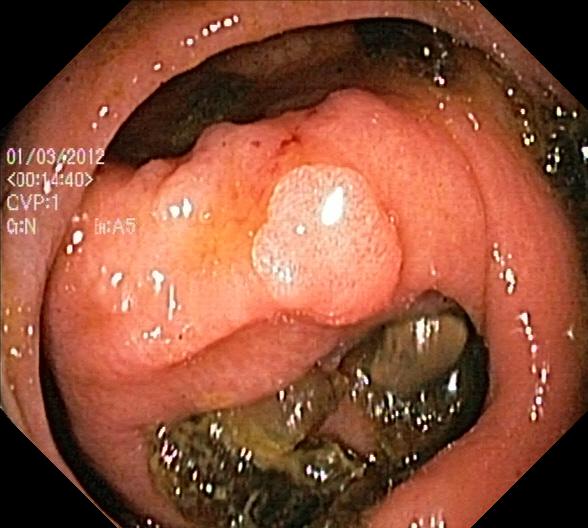Colonoscopy — colorectal polyp(s).